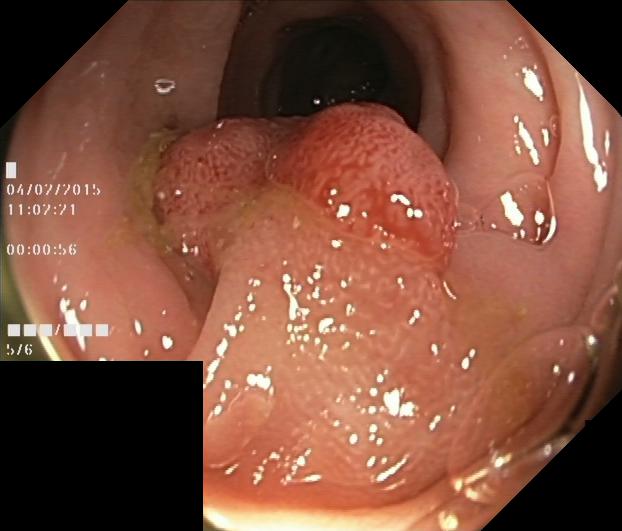Colonoscopy. Tract: lower GI tract. Finding: colorectal polyp(s).